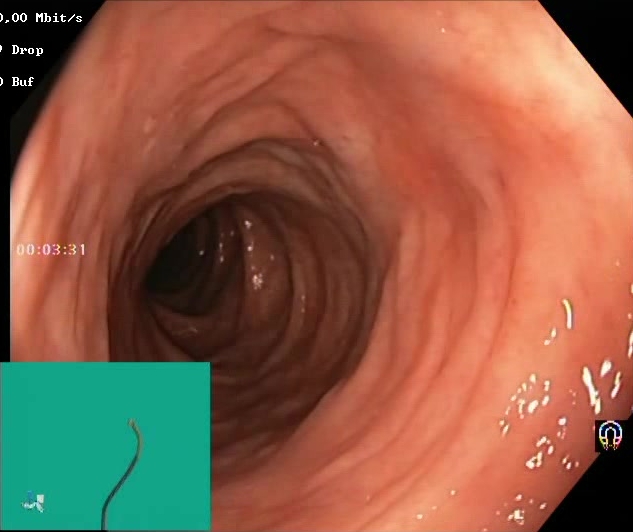BBPS score 2–3 (adequate preparation).